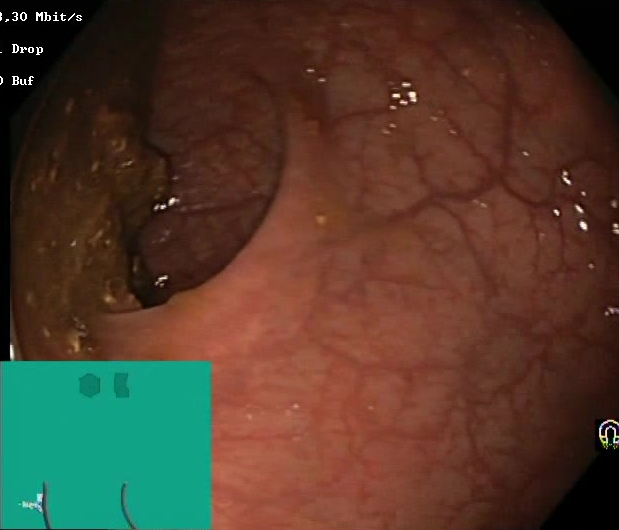Colonoscopy. Finding: Boston Bowel Preparation Scale score 0–1 (inadequate preparation).